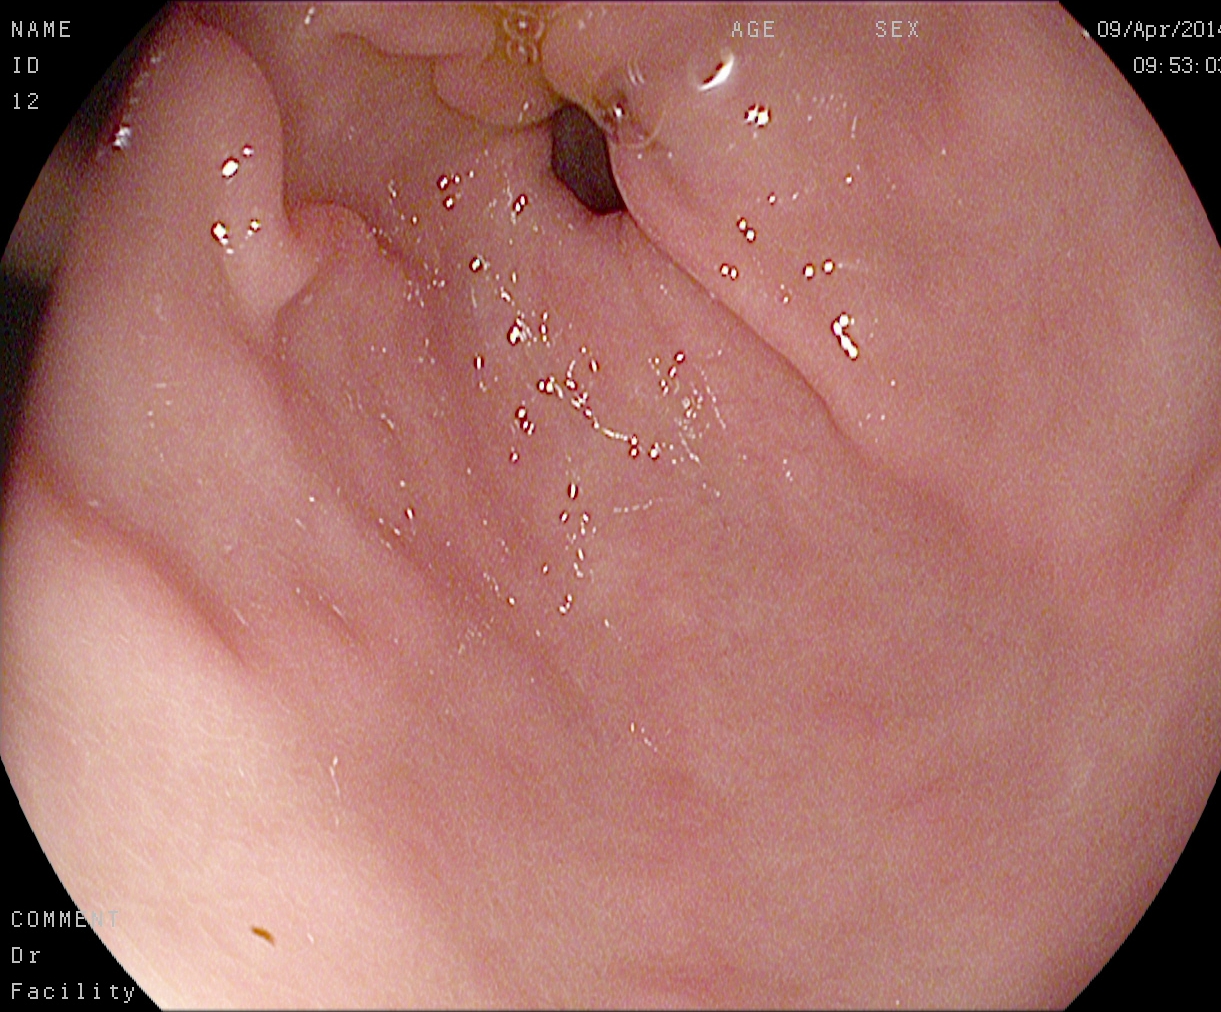This endoscopic image shows pylorus.